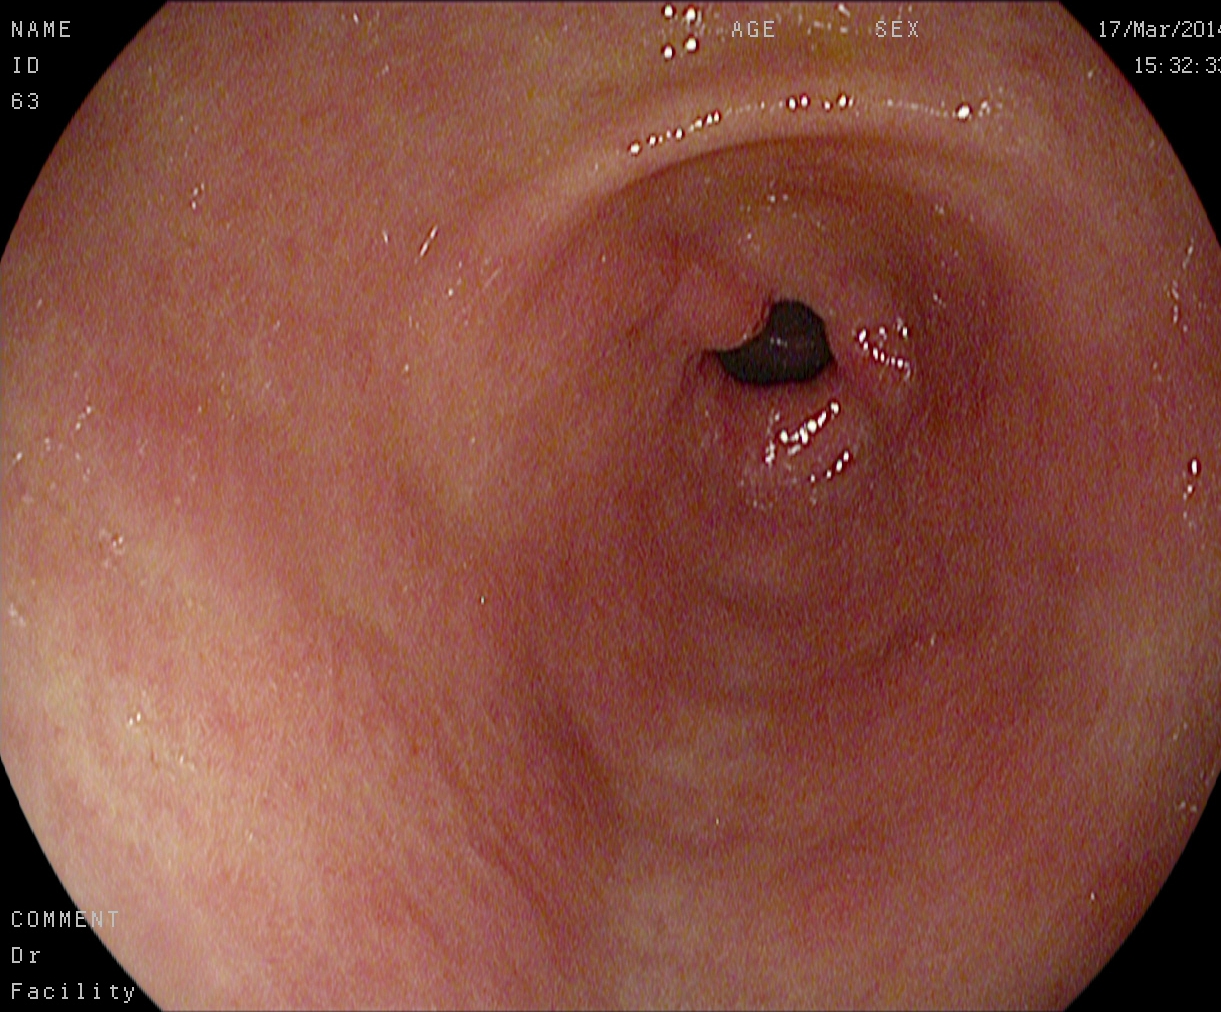EGD. Tract: upper GI tract. Finding: pylorus.